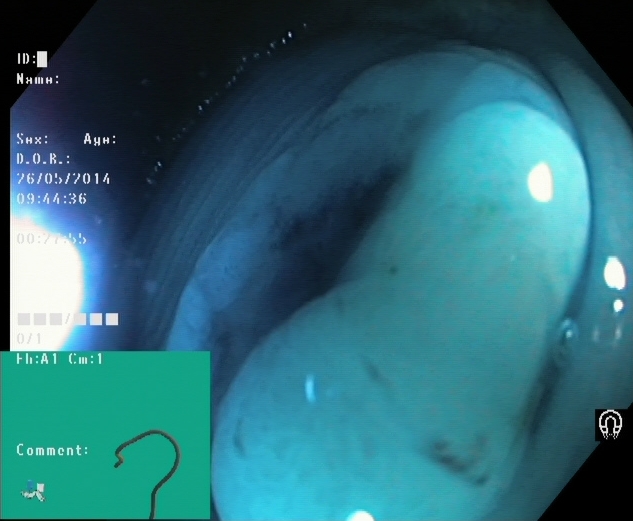Colonoscopy — dyed and lifted polyp (pre-resection).